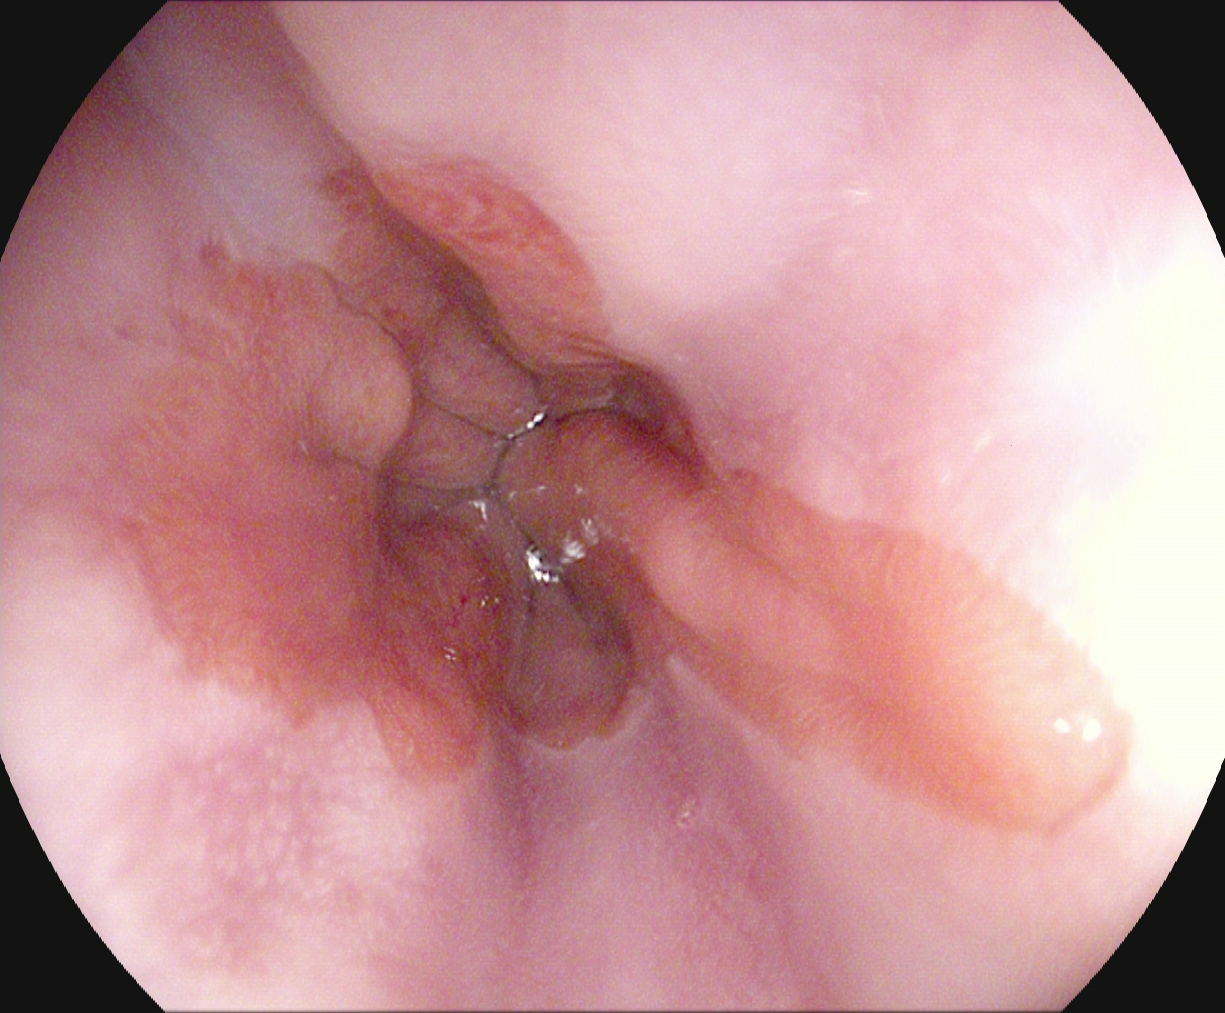modality: upper-GI endoscopy; tract: upper GI tract; finding: Barrett's esophagus, short segment